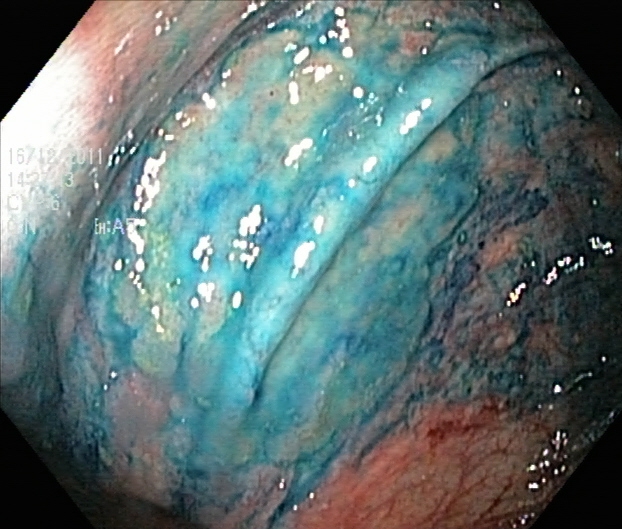{"modality": "lower-GI endoscopy", "tract": "lower GI tract", "finding": "dyed resection margins (post-polypectomy)"}